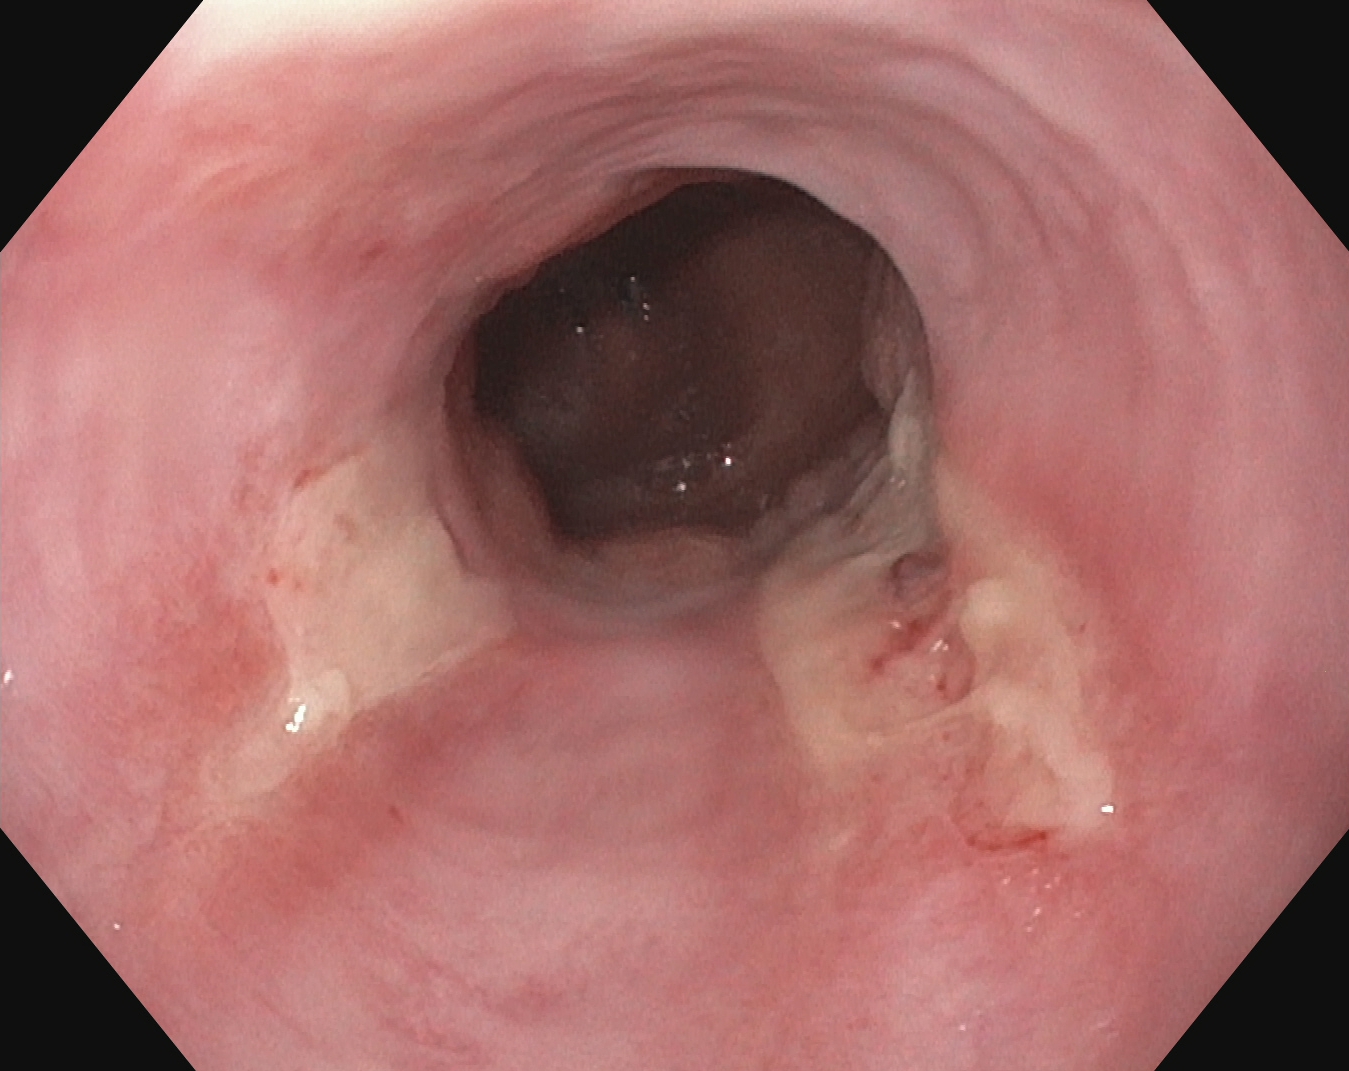reflux esophagitis, Los Angeles grade B–D.